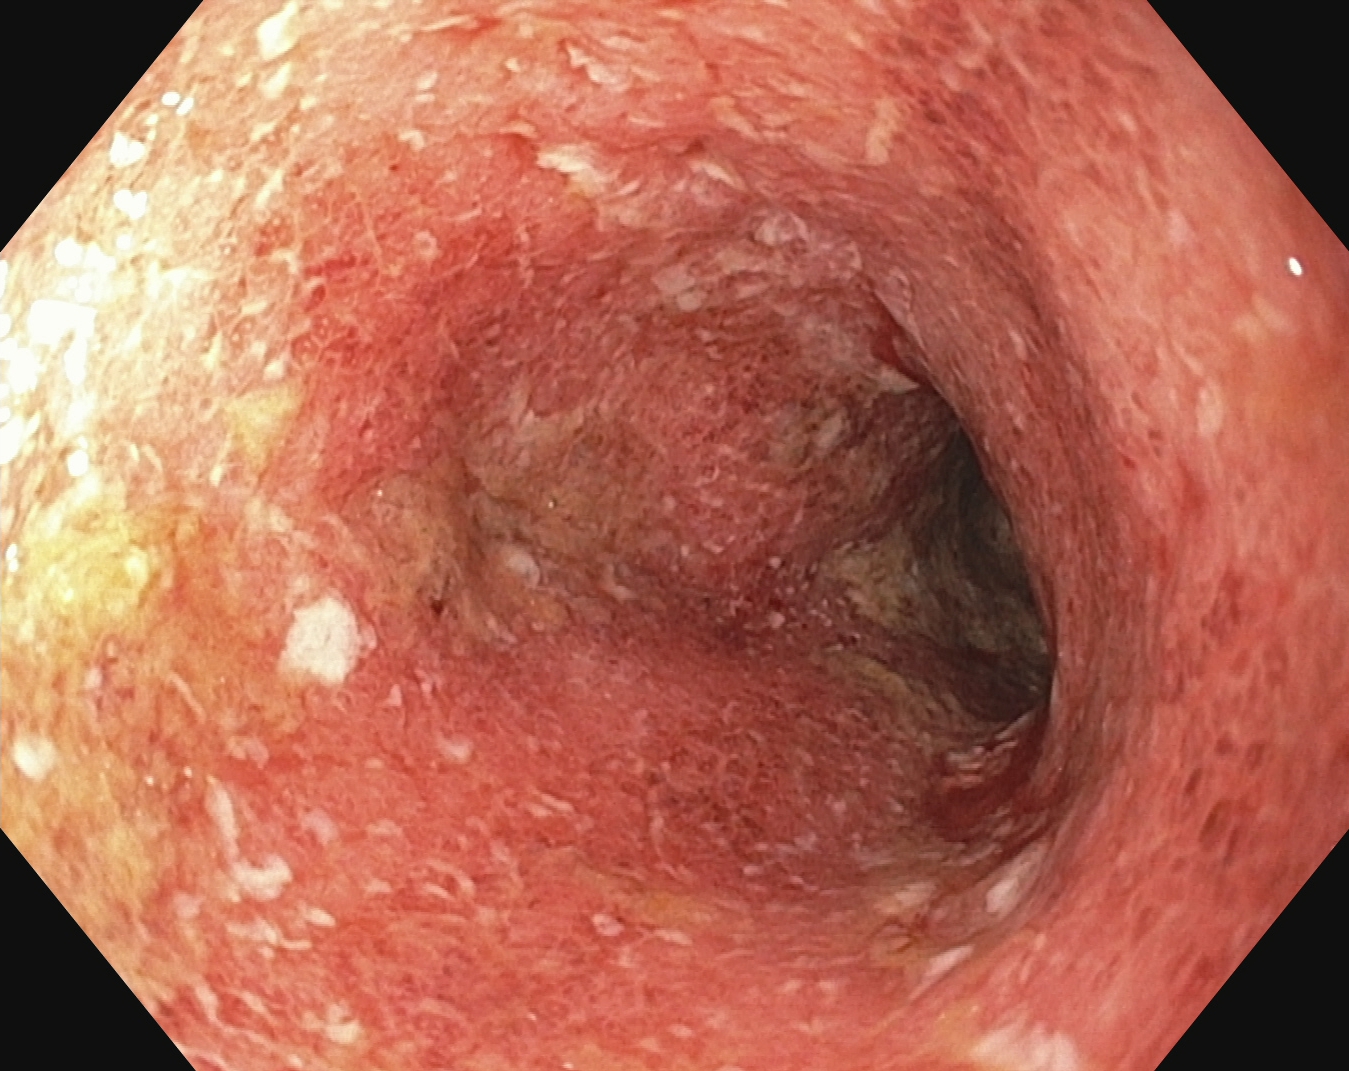Colonoscopy image of the lower GI tract showing UC, Mayo endoscopic subscore 2.